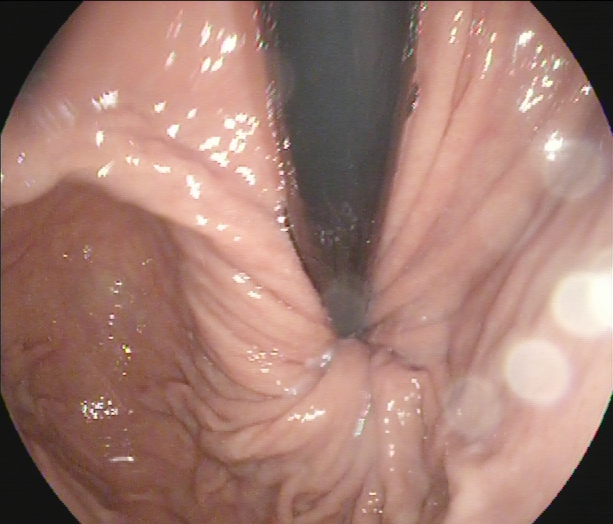This endoscopic image of the upper GI tract shows stomach in retroflexion.